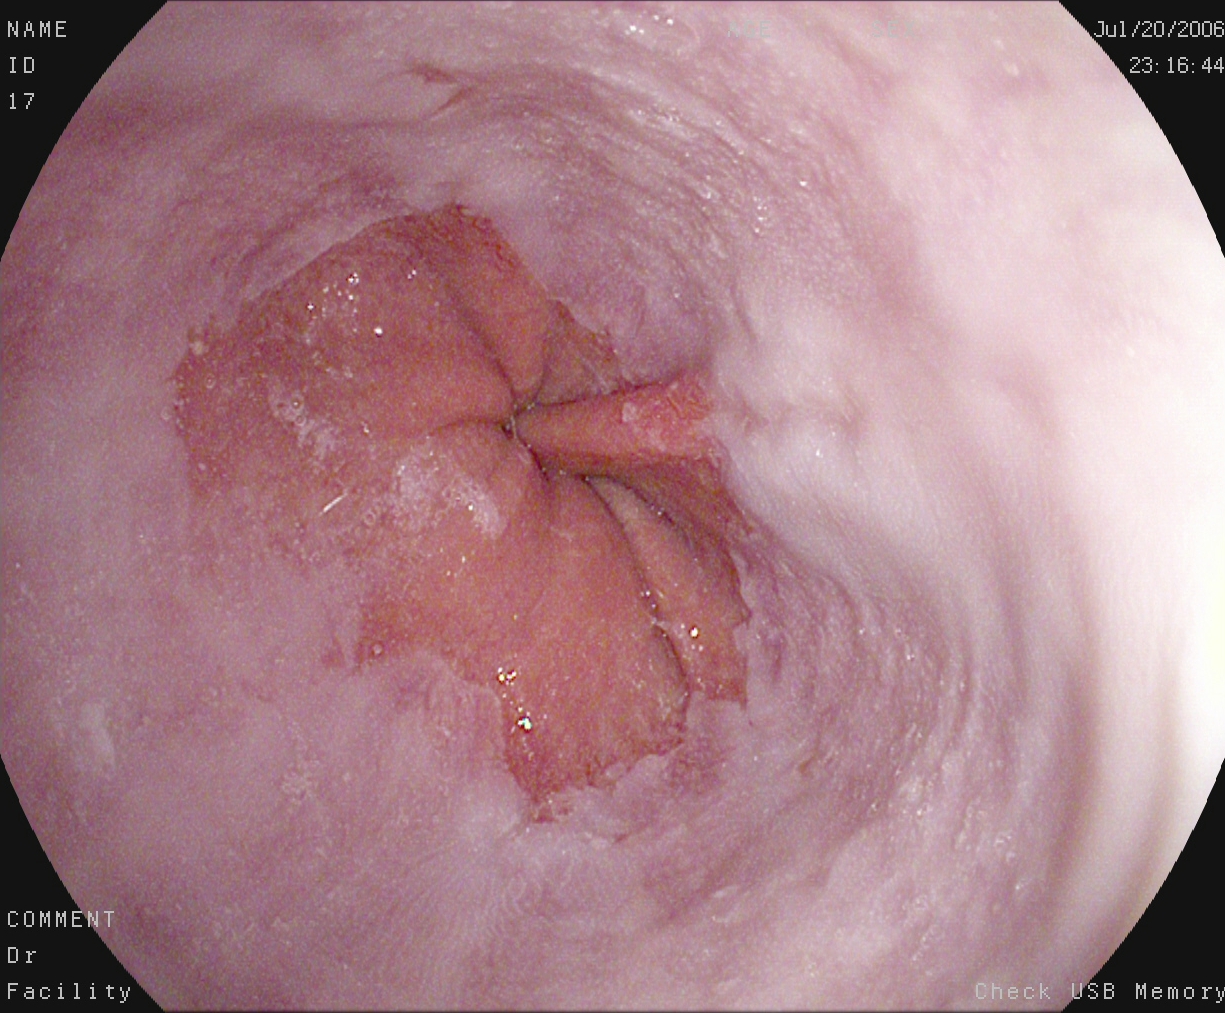PROCEDURE: Esophagogastroduodenoscopy.
FINDINGS: Reflux esophagitis, Los Angeles grade A.